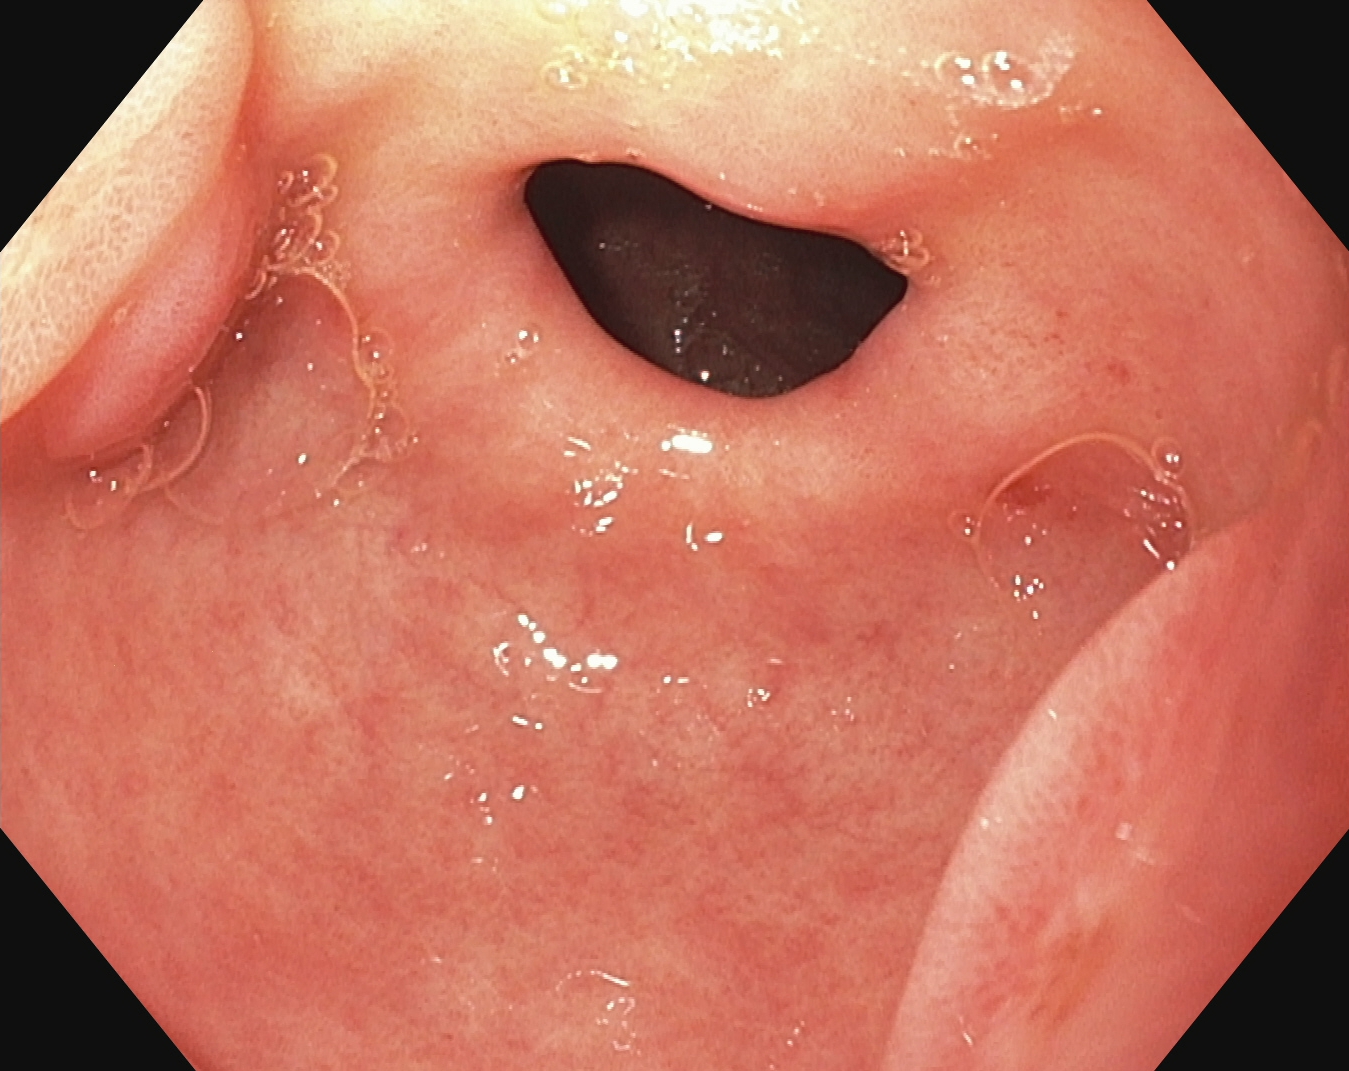PROCEDURE: Upper-GI endoscopy.
FINDINGS: Pylorus.